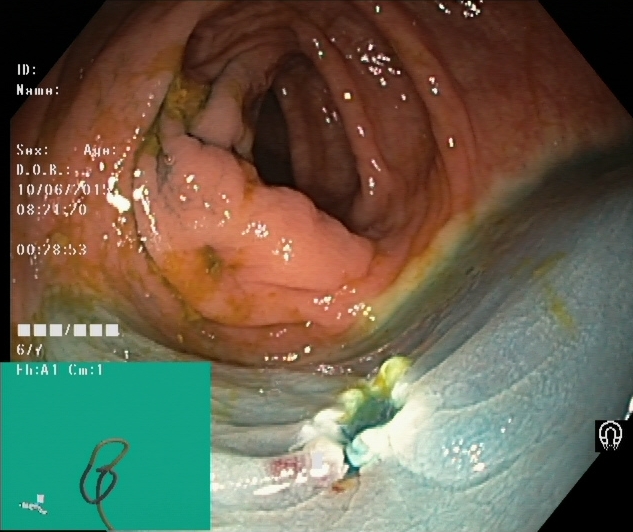Colonoscopy. Therapeutic intervention. Finding: dyed resection margins (post-polypectomy).